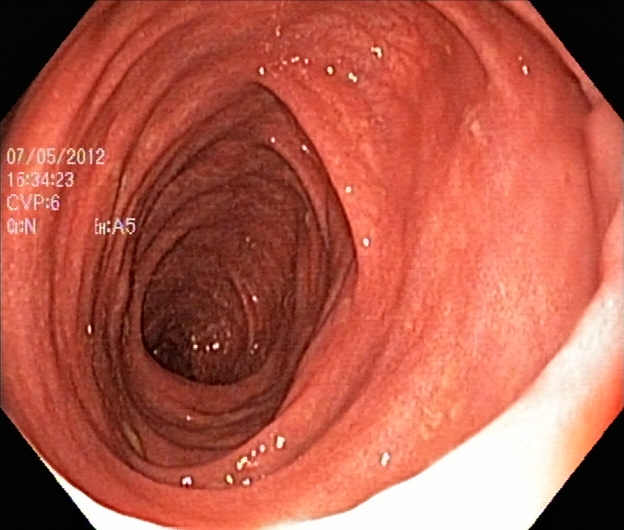PROCEDURE: Lower gastrointestinal endoscopy.
FINDINGS: UC, Mayo endoscopic subscore 1.